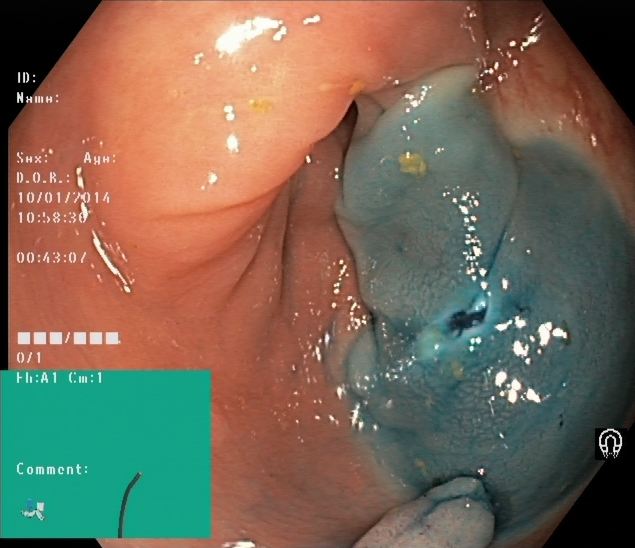Dyed resection margins (post-polypectomy).